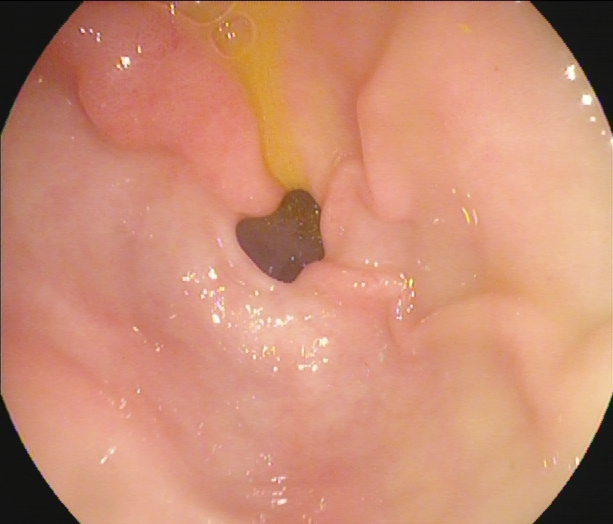This endoscopic image of the upper GI tract shows pylorus.